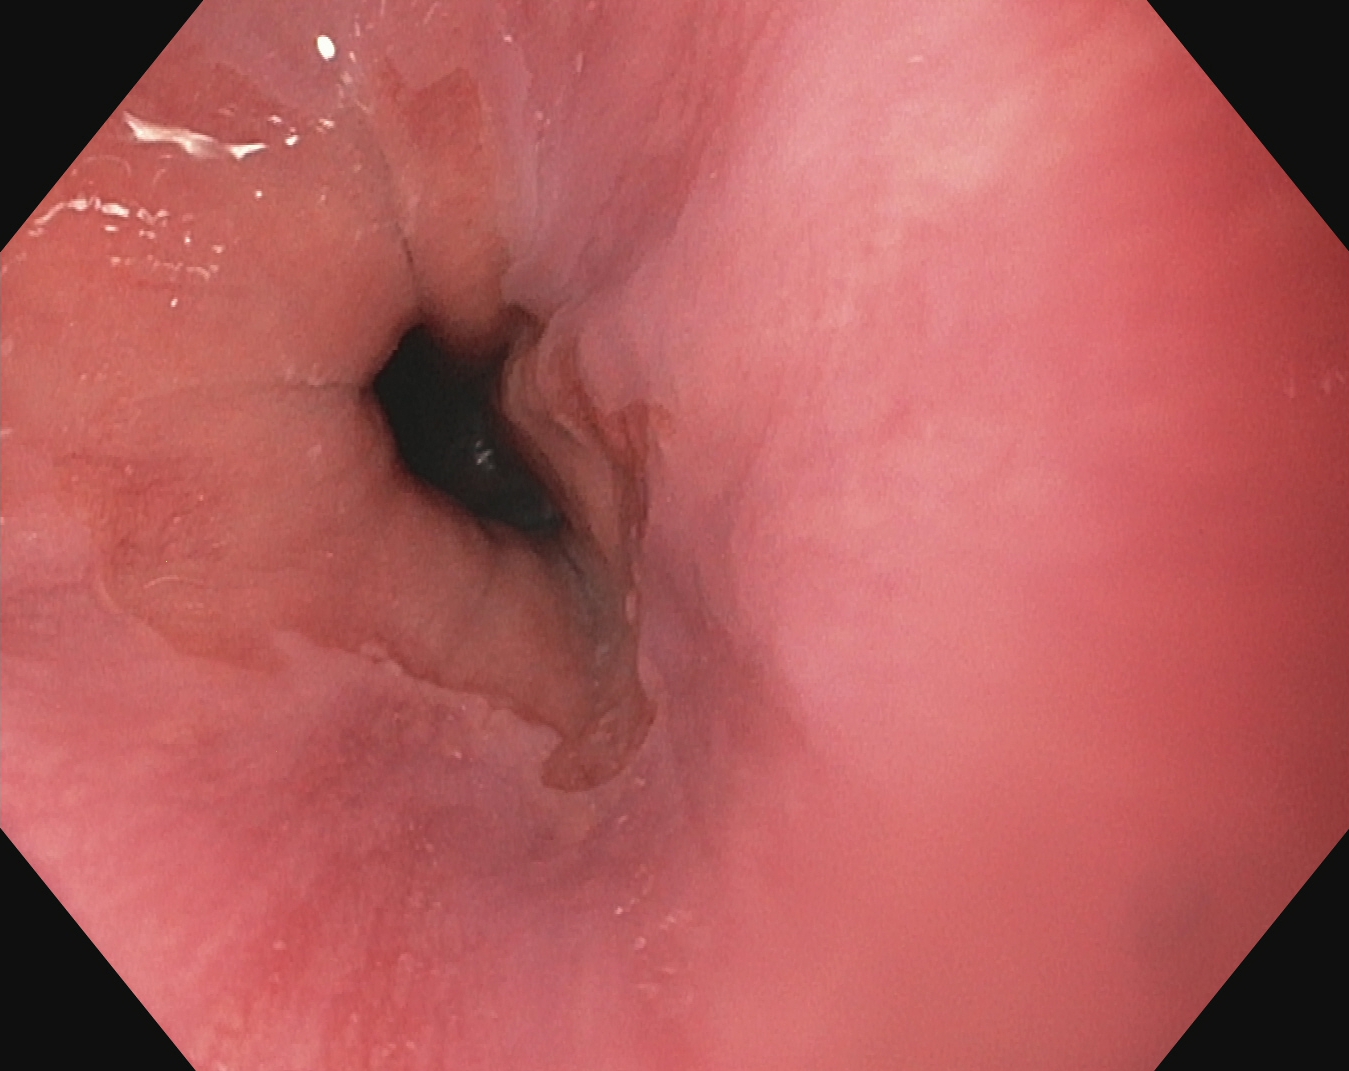Upper-GI endoscopy — Z-line (gastroesophageal junction).